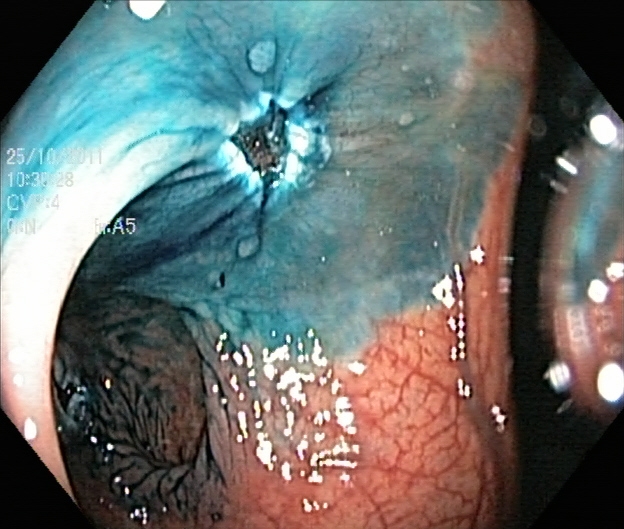Lower-GI endoscopy image of the lower GI tract showing dyed resection margins (post-polypectomy).